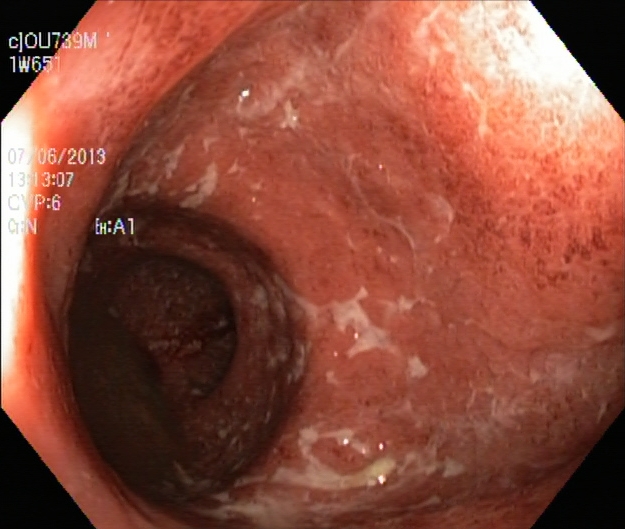Lower gastrointestinal endoscopy — UC, Mayo endoscopic subscore 2.